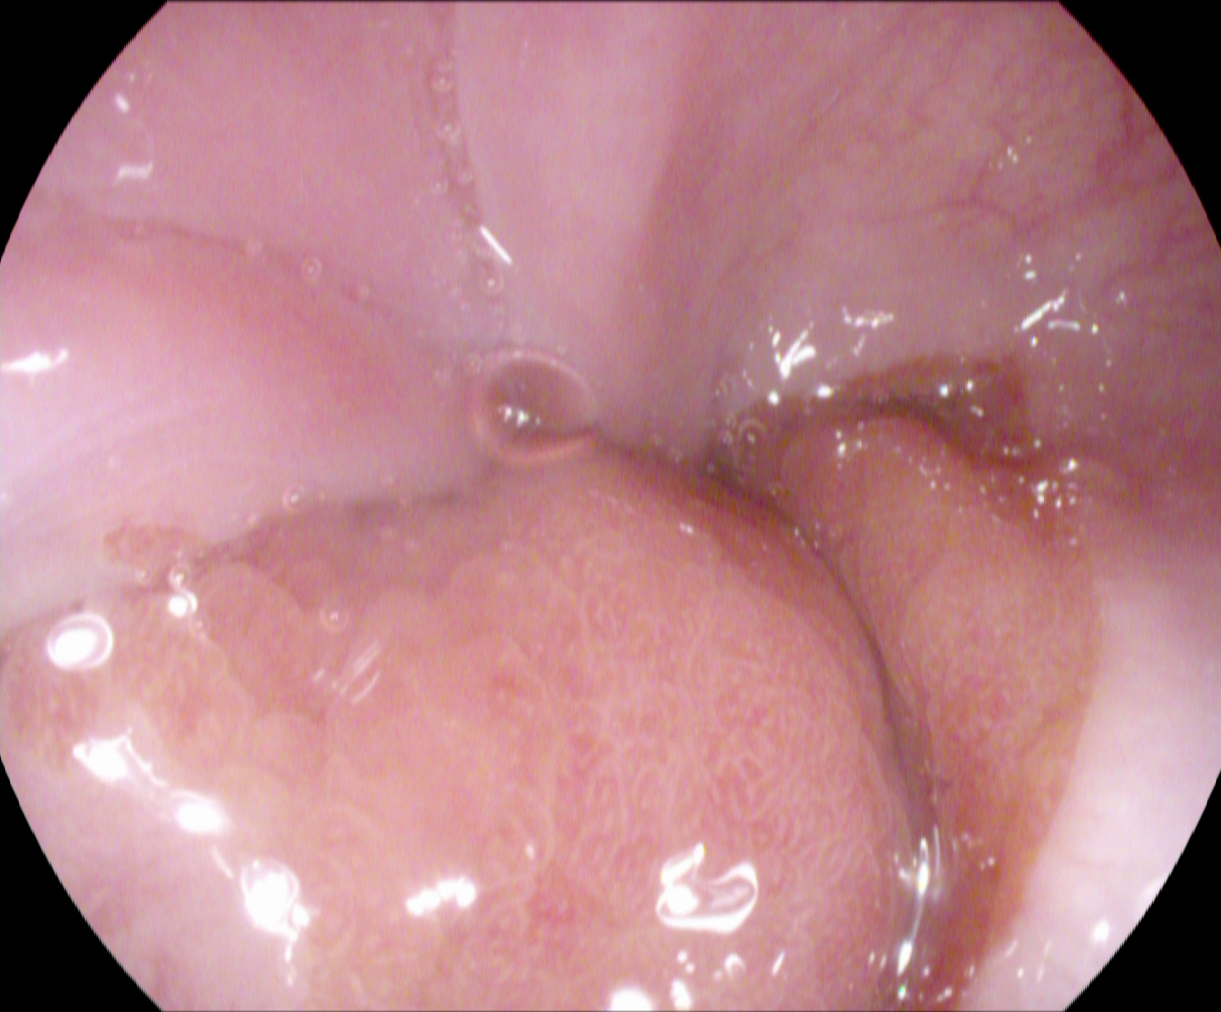modality: esophagogastroduodenoscopy | tract: upper GI tract | category: anatomical landmark | finding: Z-line (gastroesophageal junction)